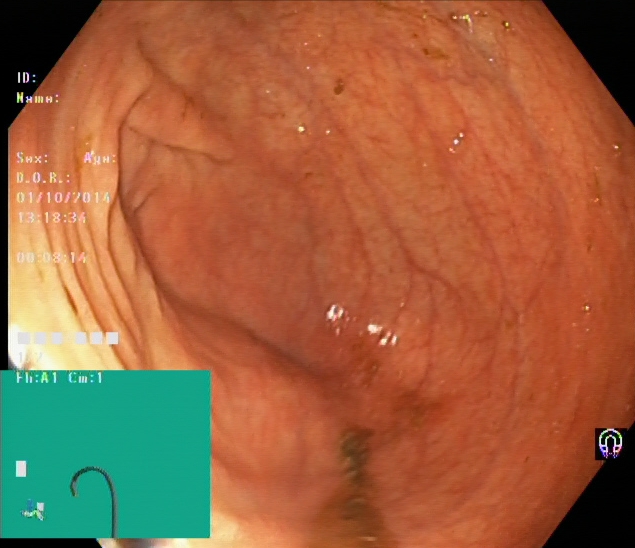Cecum.